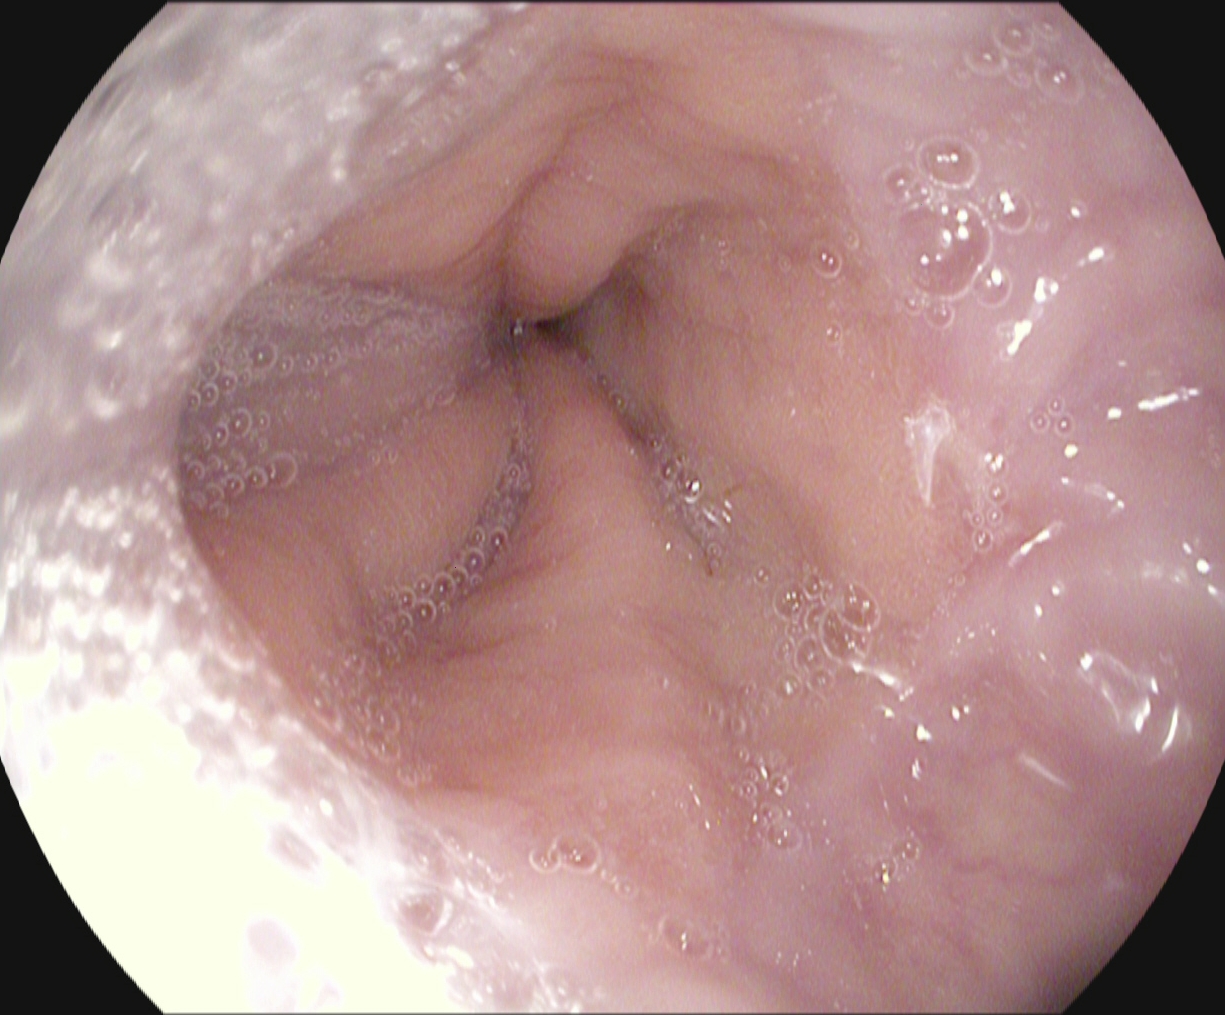modality: esophagogastroduodenoscopy
category: anatomical landmark
finding: Z-line (gastroesophageal junction)